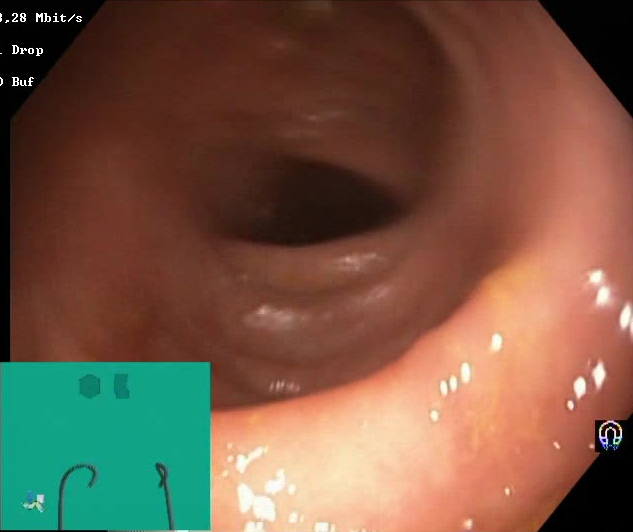modality: lower gastrointestinal endoscopy
tract: lower GI tract
finding: Boston Bowel Preparation Scale score 2–3 (adequate preparation)